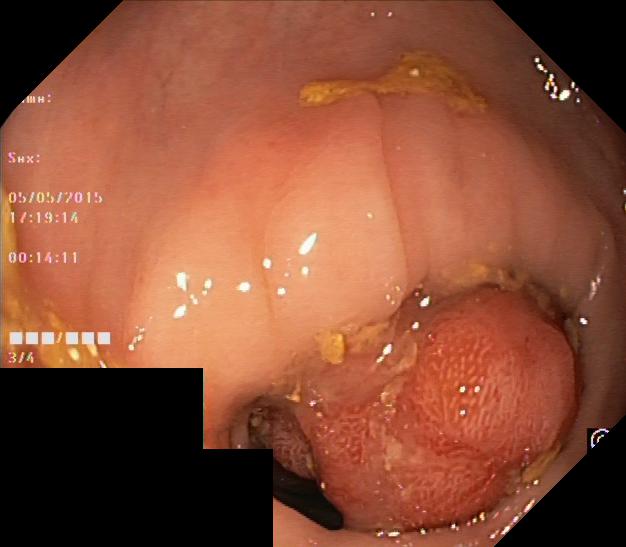PROCEDURE: Lower-GI endoscopy.
CATEGORY: Pathological finding.
FINDINGS: Colorectal polyp(s).